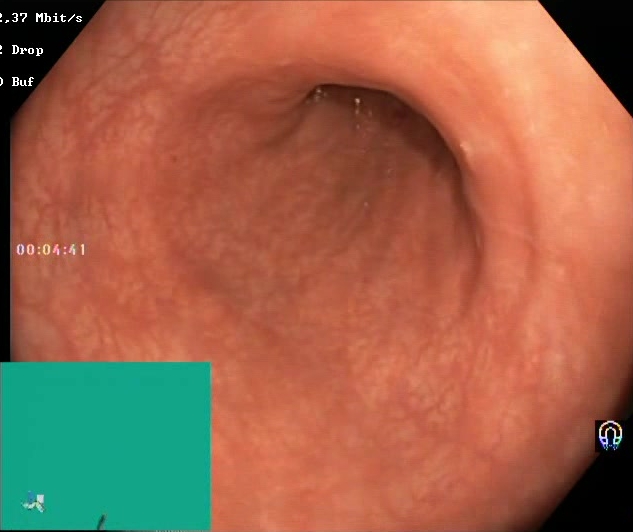Lower-GI endoscopy. Finding: Boston Bowel Preparation Scale score 2–3 (adequate preparation).